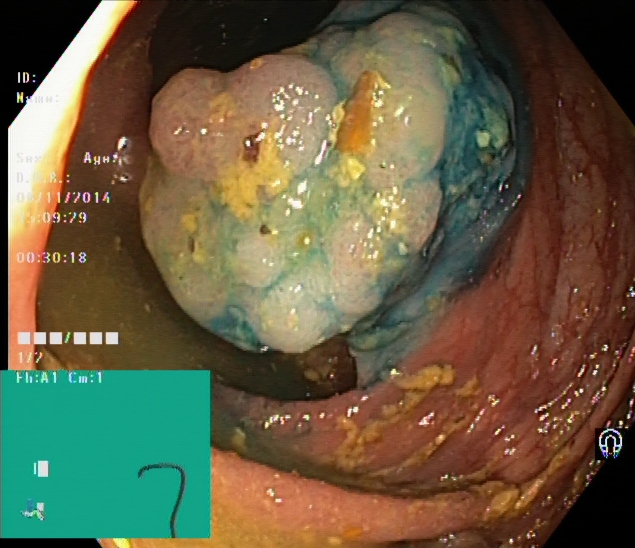modality: colonoscopy; tract: lower GI tract; finding: dyed and lifted polyp (pre-resection)